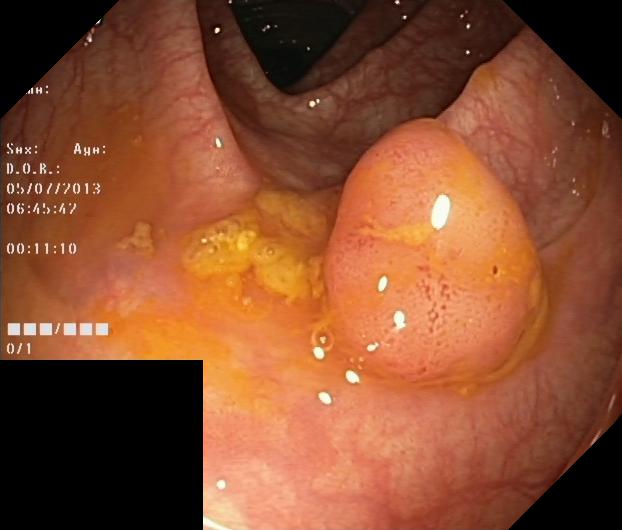modality: lower-GI endoscopy
tract: lower GI tract
finding: colorectal polyp(s)